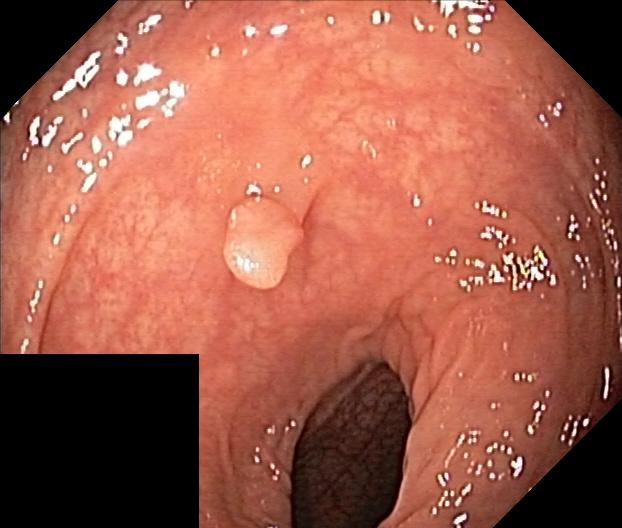Lower gastrointestinal endoscopy. Finding: colorectal polyp(s).